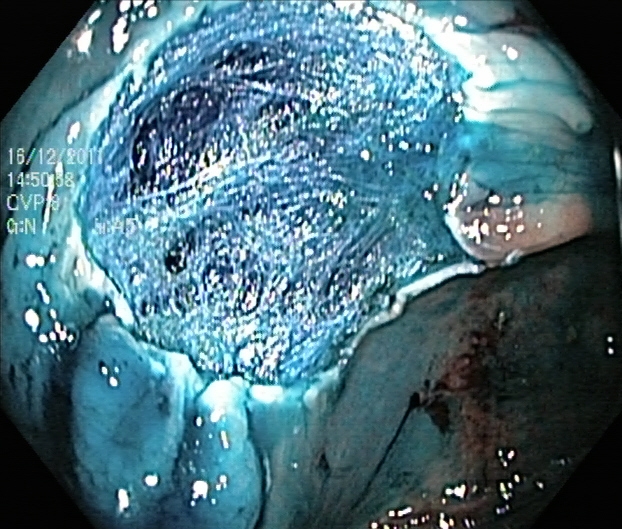This endoscopy frame of the lower GI tract shows dyed resection margins (post-polypectomy).